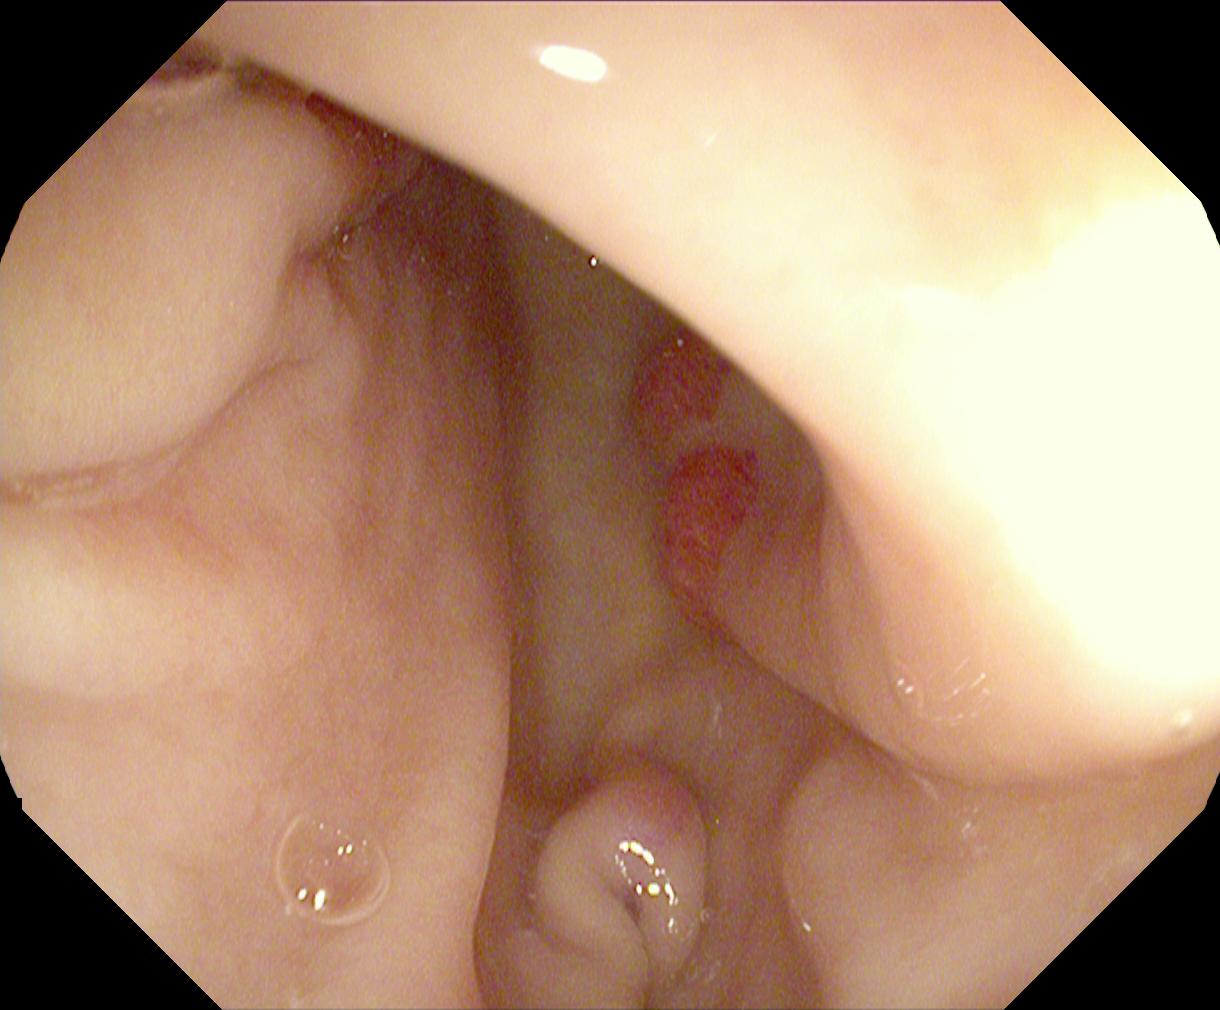modality: colonoscopy; finding: colorectal polyp(s)